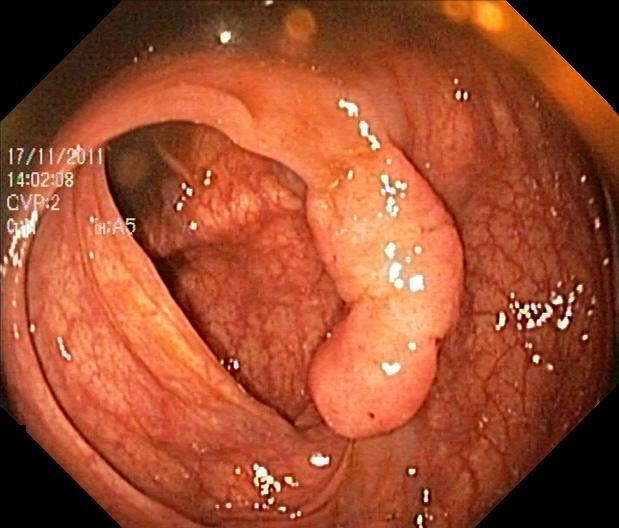This endoscopy frame shows colorectal polyp(s).